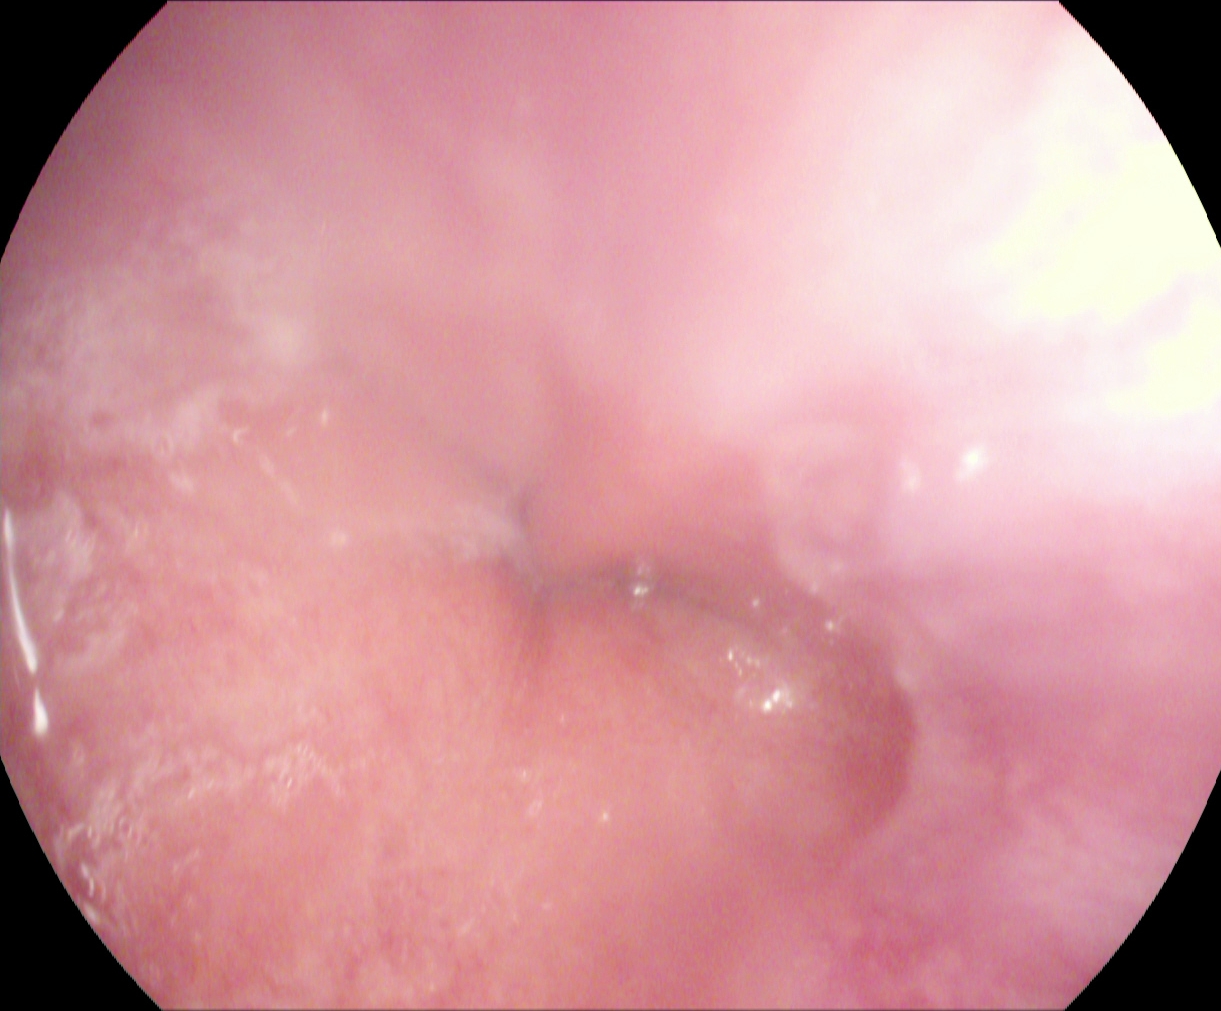modality: EGD; finding: Z-line (gastroesophageal junction)